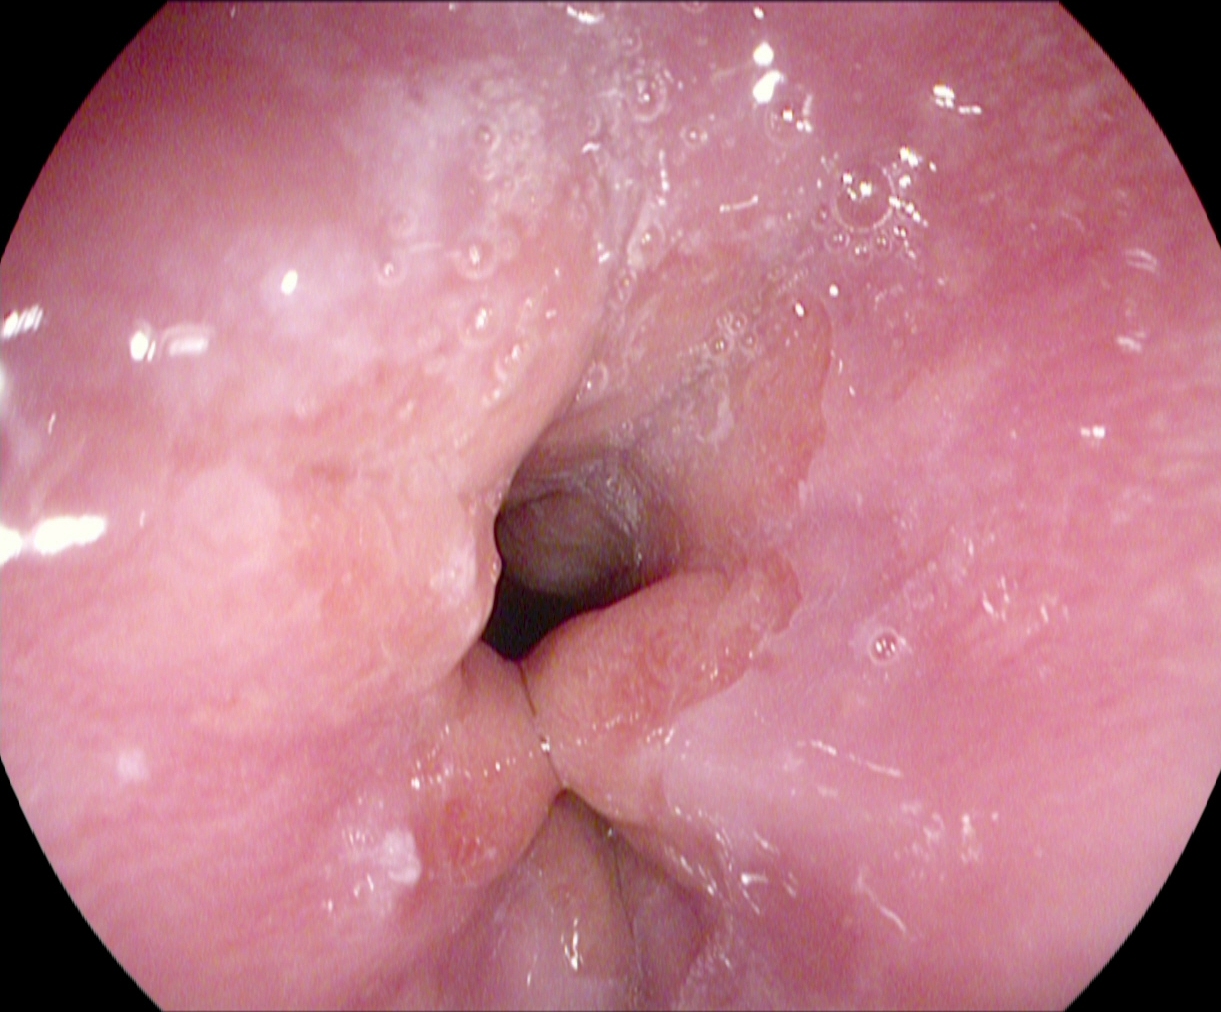Upper-GI endoscopy. Tract: upper GI tract. Finding: Z-line (gastroesophageal junction).